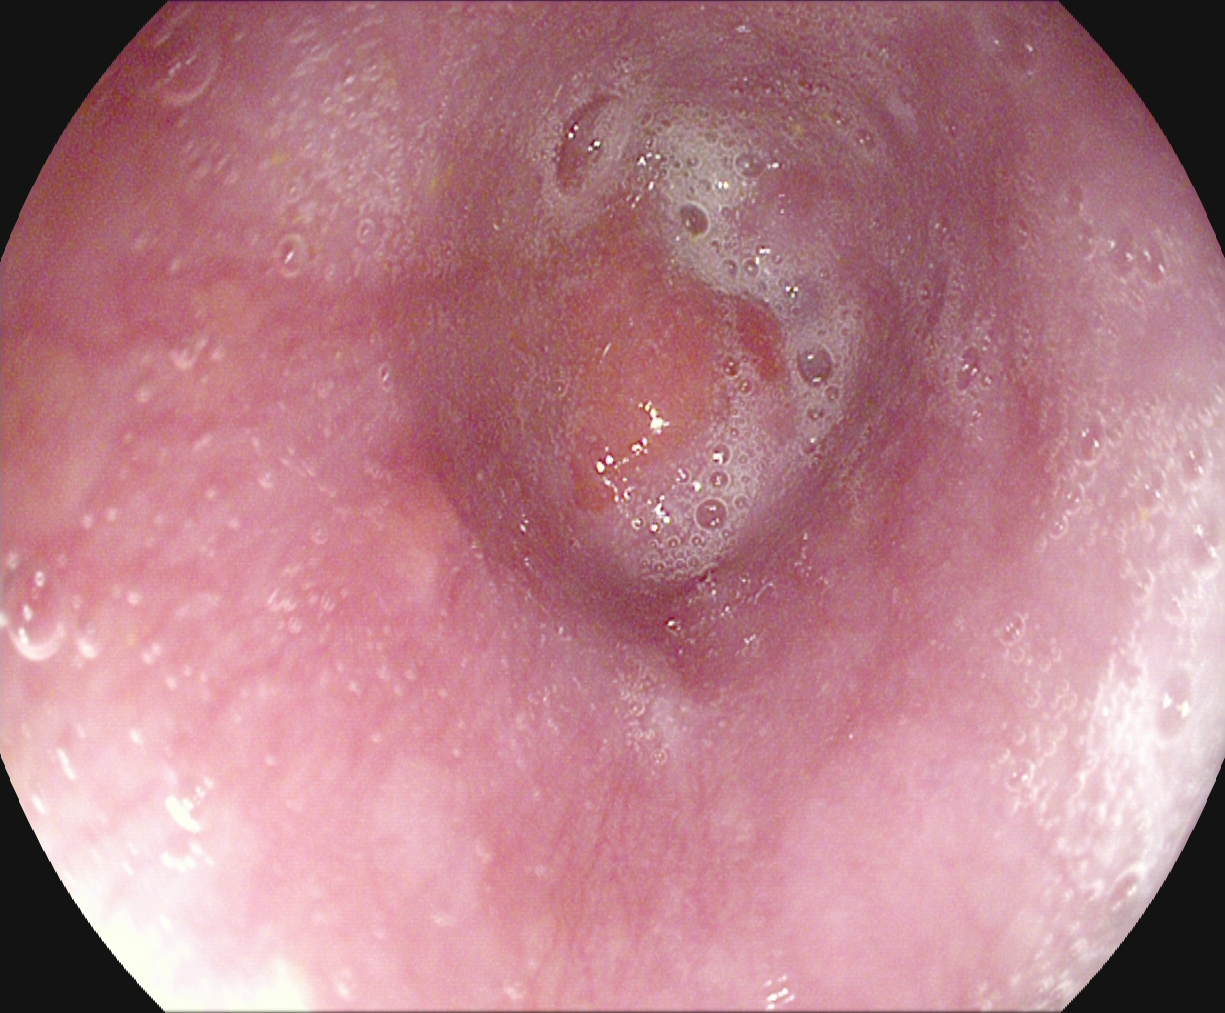PROCEDURE: Gastroscopy.
FINDINGS: Z-line (gastroesophageal junction).